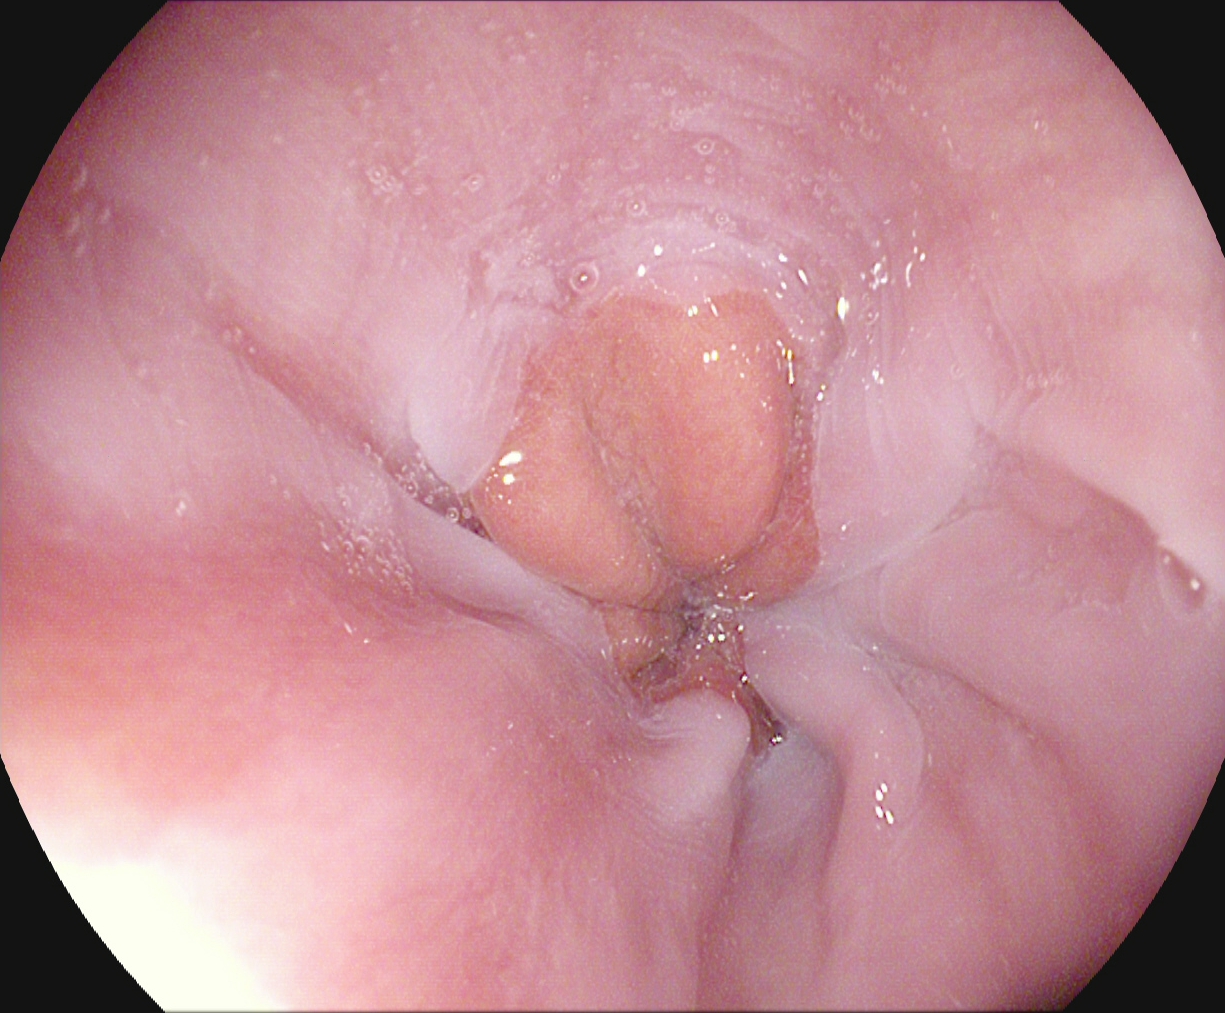modality: EGD | tract: upper GI tract | category: anatomical landmark | finding: Z-line (gastroesophageal junction)